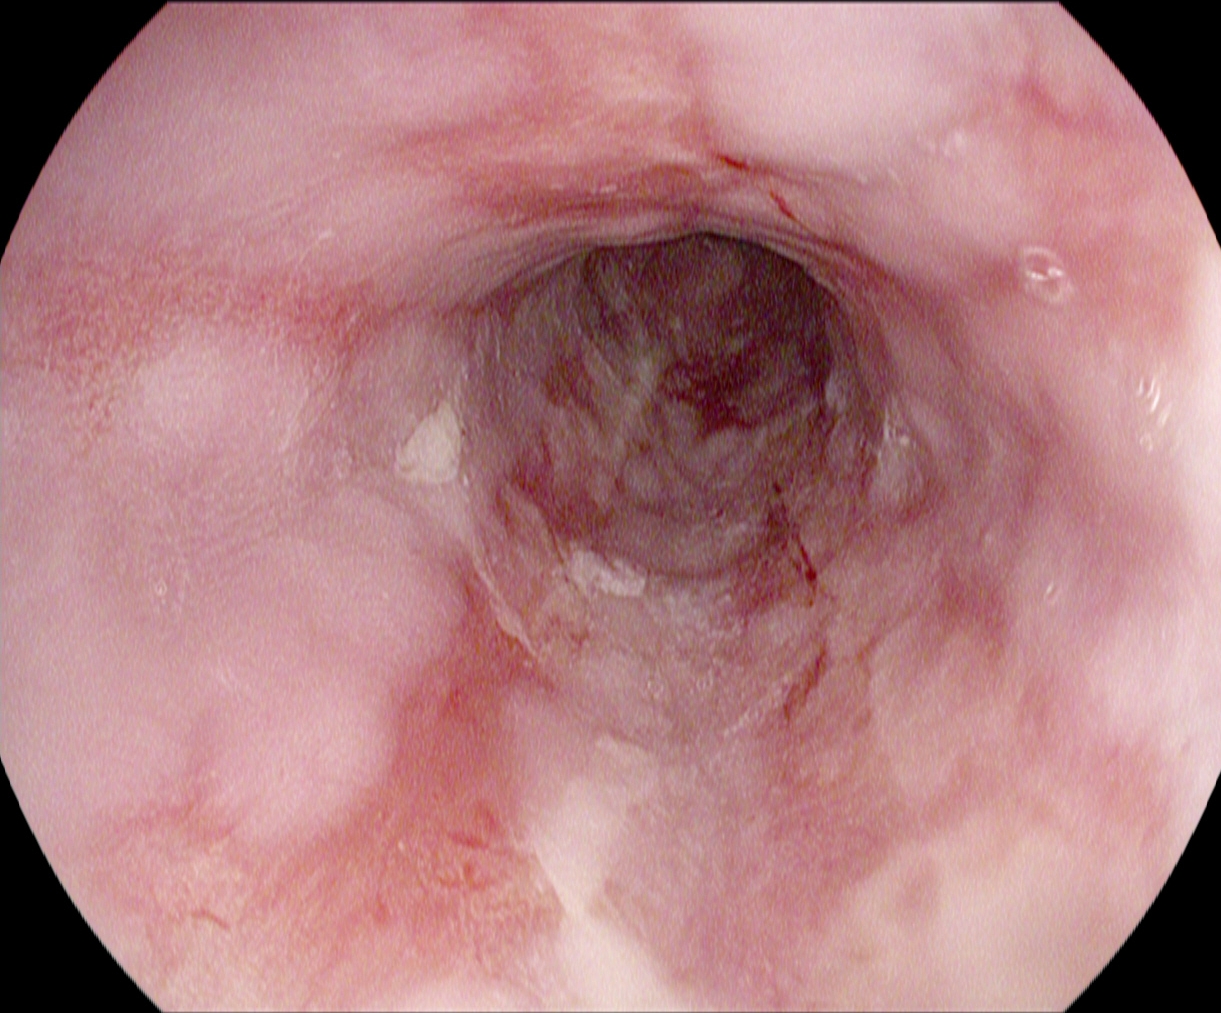This endoscopy frame of the upper GI tract shows reflux esophagitis, LA grade B–D.